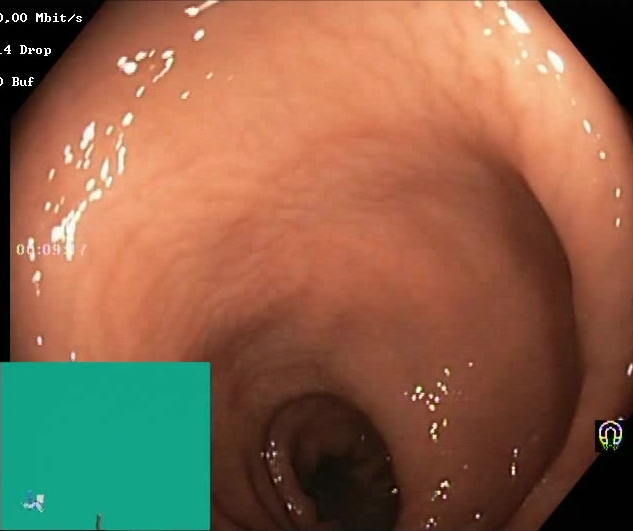Lower-GI endoscopy image showing Boston Bowel Preparation Scale score 2–3 (adequate preparation).